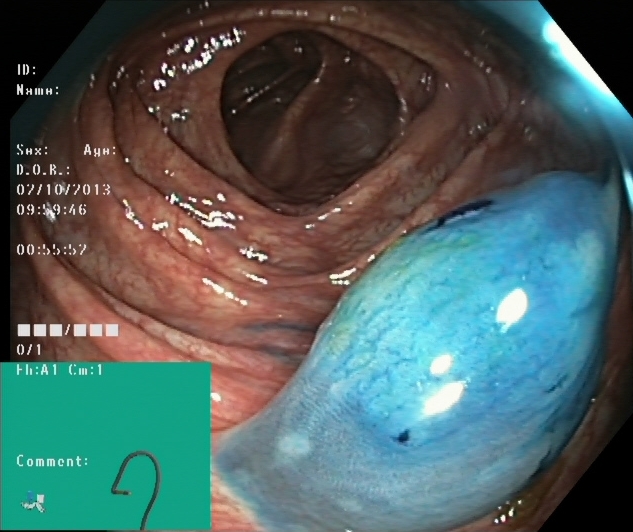GI endoscopy image of the lower GI tract showing dyed and lifted polyp (pre-resection).